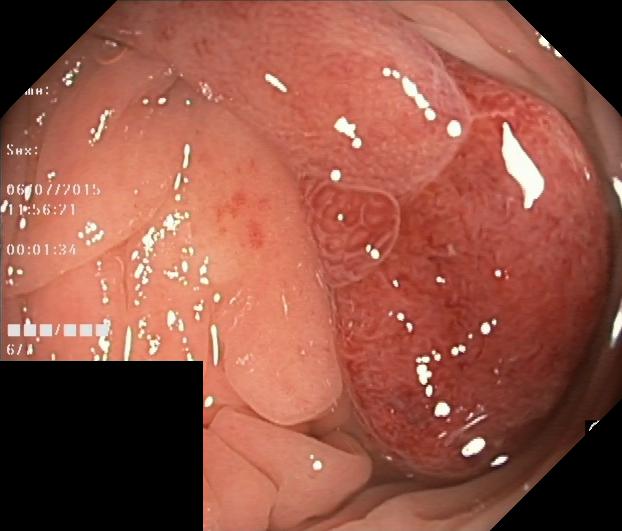This endoscopic image shows colorectal polyp(s).